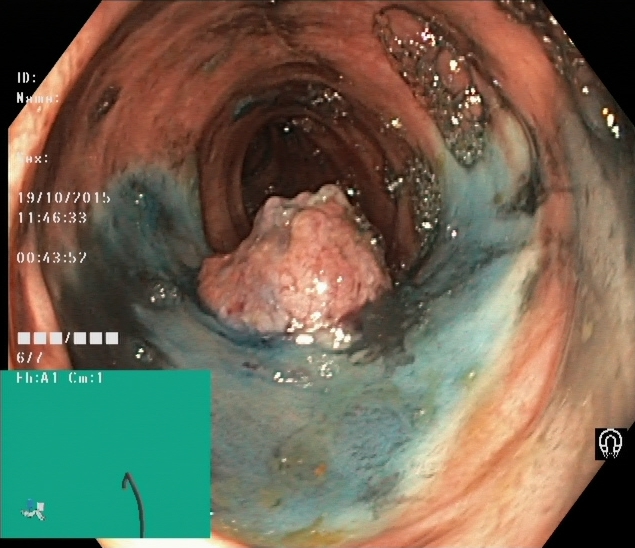{"modality": "lower-GI endoscopy", "category": "therapeutic intervention", "finding": "dyed and lifted polyp (pre-resection)"}